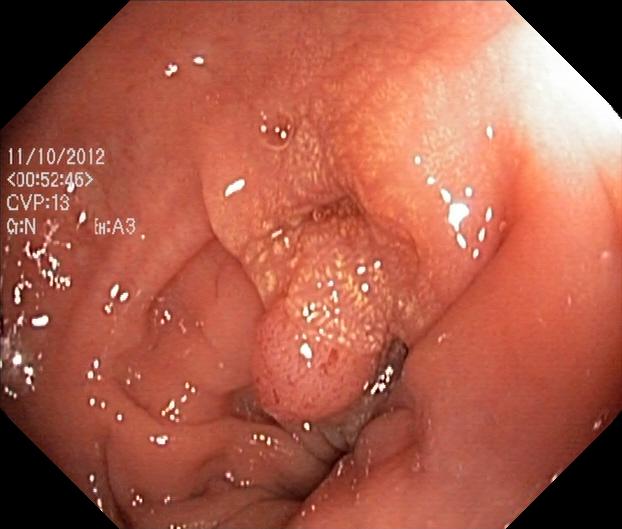{"modality": "colonoscopy", "category": "pathological finding", "finding": "colorectal polyp(s)"}